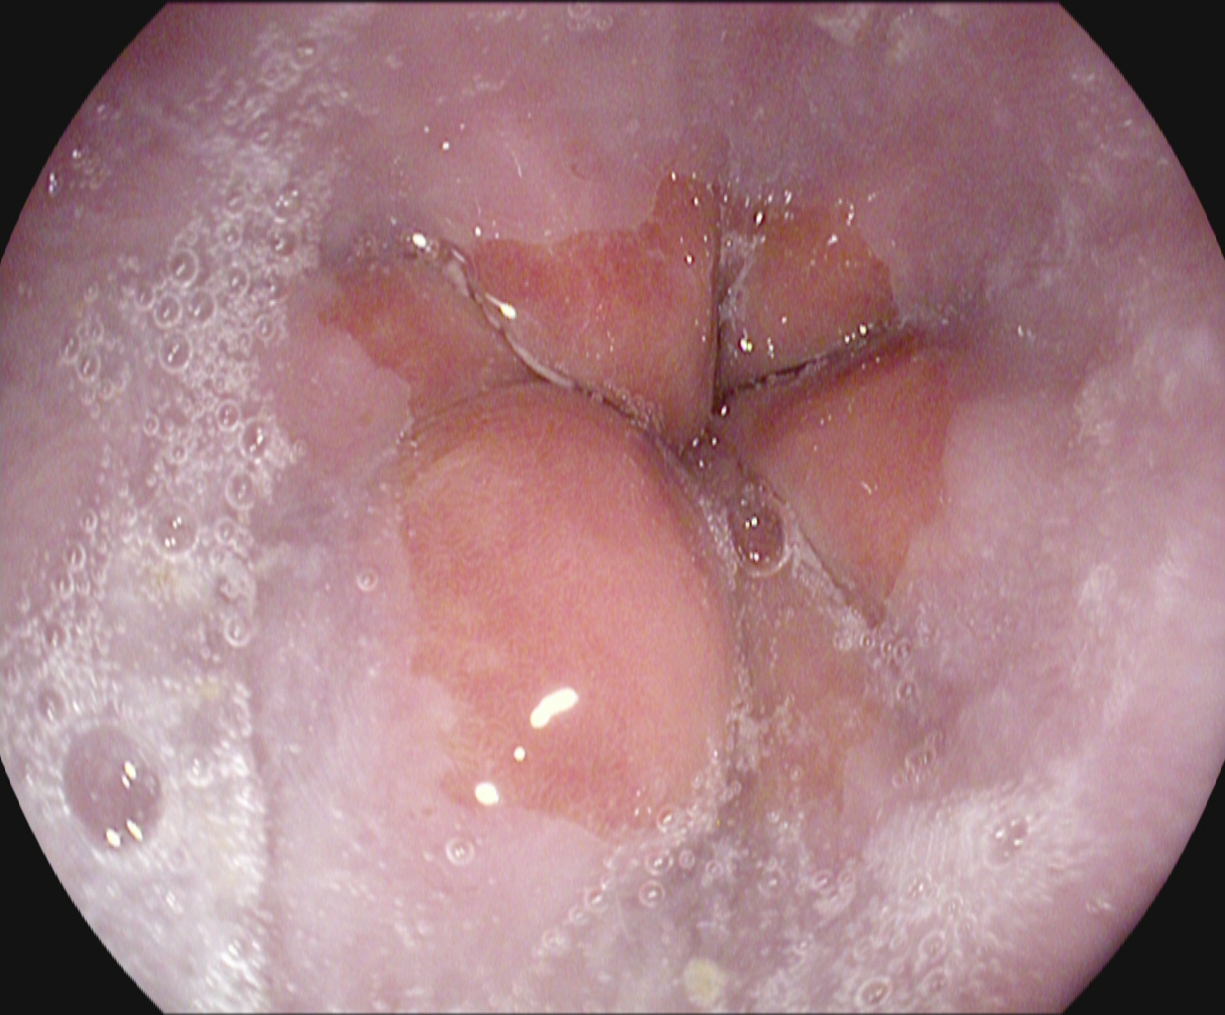modality: upper-GI endoscopy; tract: upper GI tract; category: anatomical landmark; finding: Z-line (gastroesophageal junction)